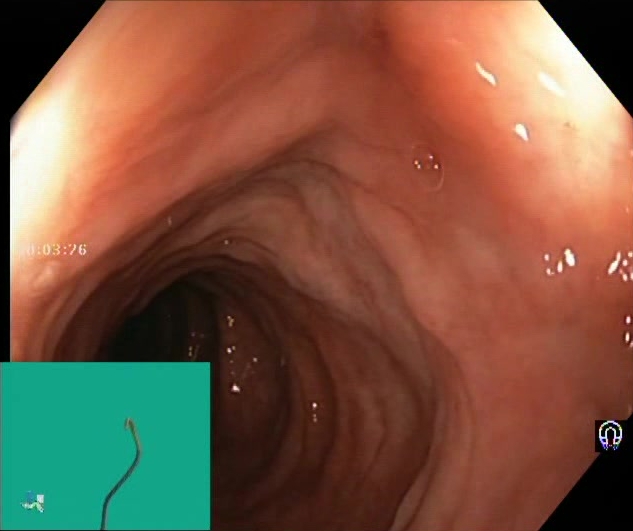BBPS score 2–3 (adequate preparation).